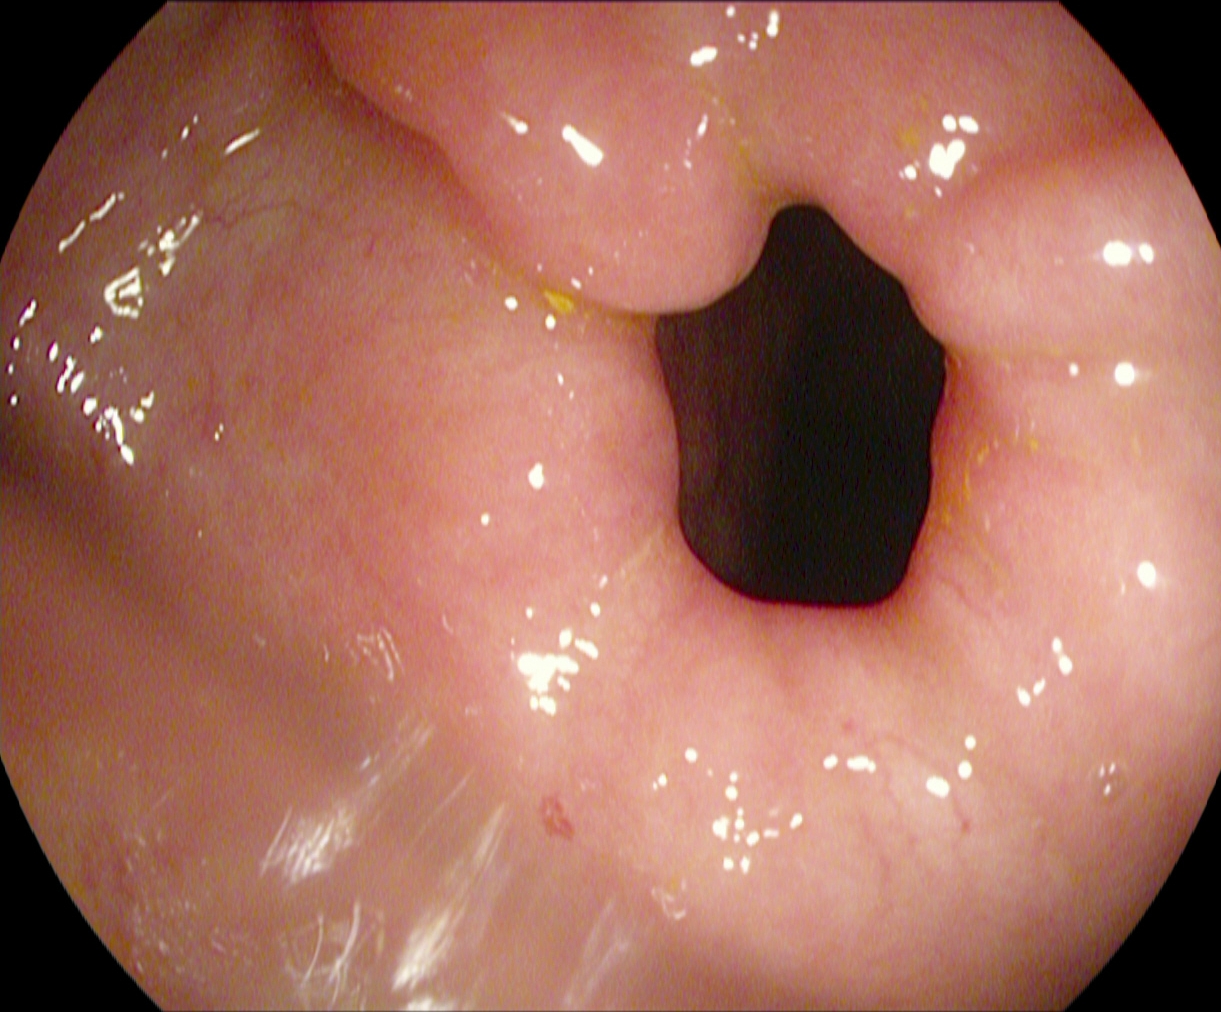PROCEDURE: Gastroscopy.
FINDINGS: Pylorus.